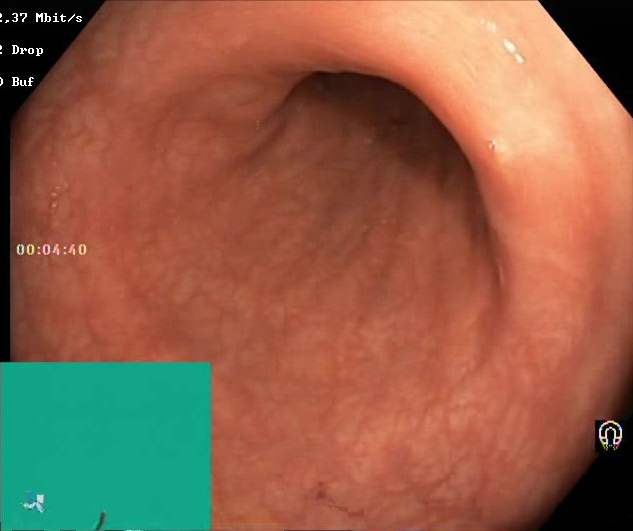modality: lower gastrointestinal endoscopy | tract: lower GI tract | finding: BBPS score 2–3 (adequate preparation)